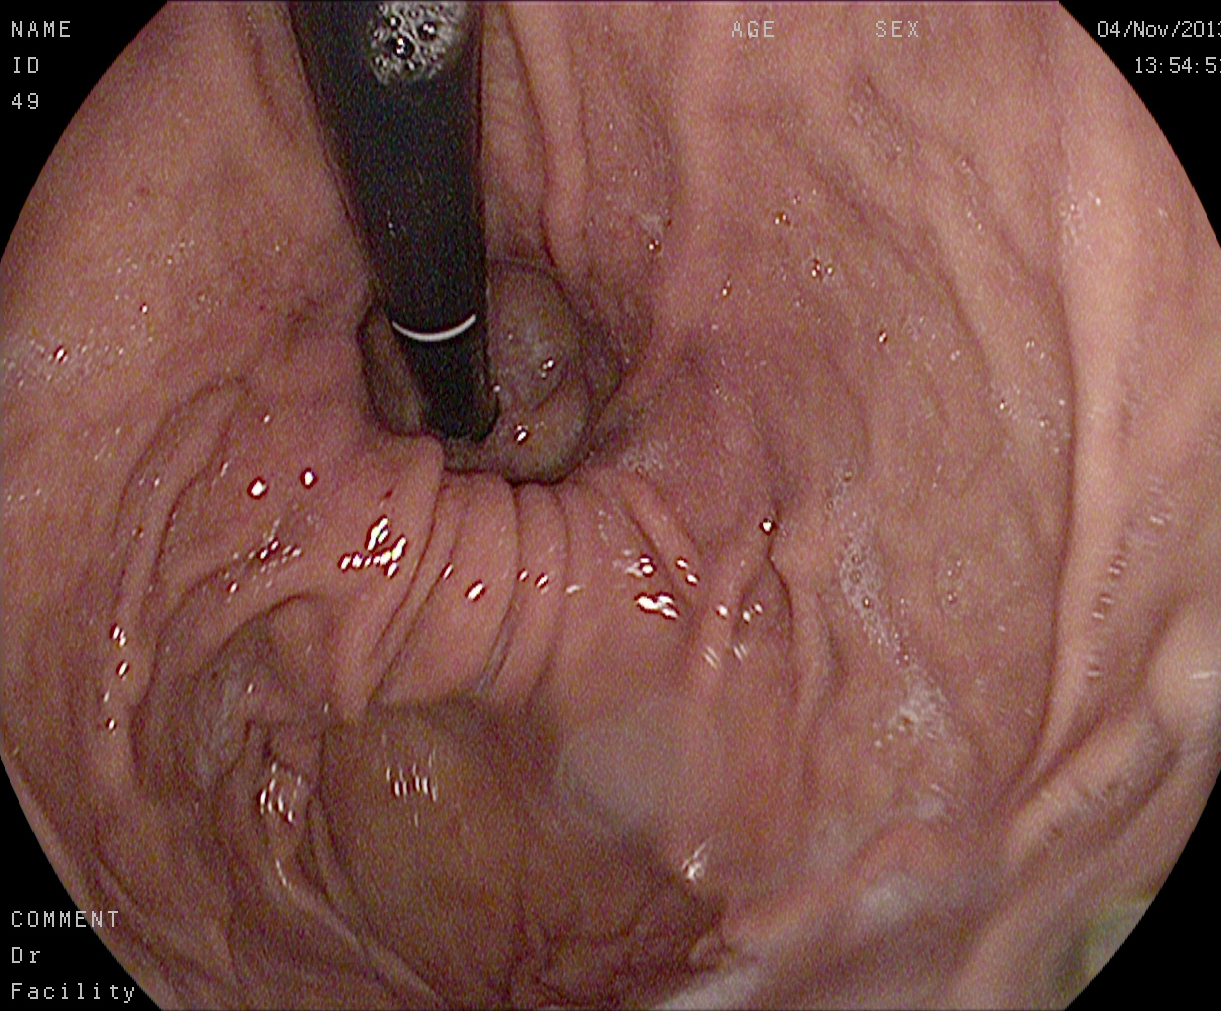Stomach in retroflexion.